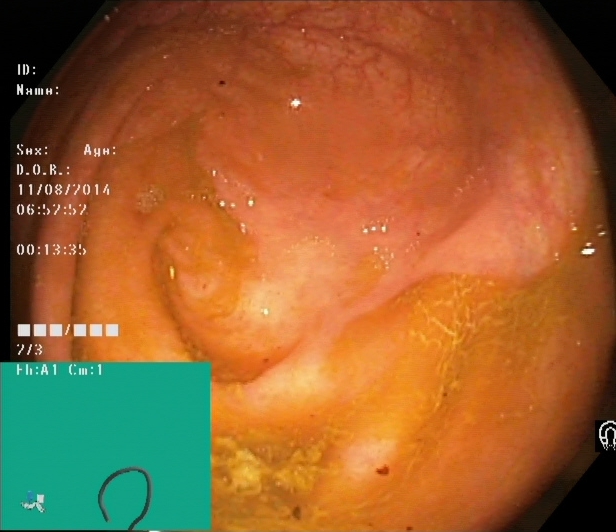This endoscopic image of the lower GI tract shows cecum.